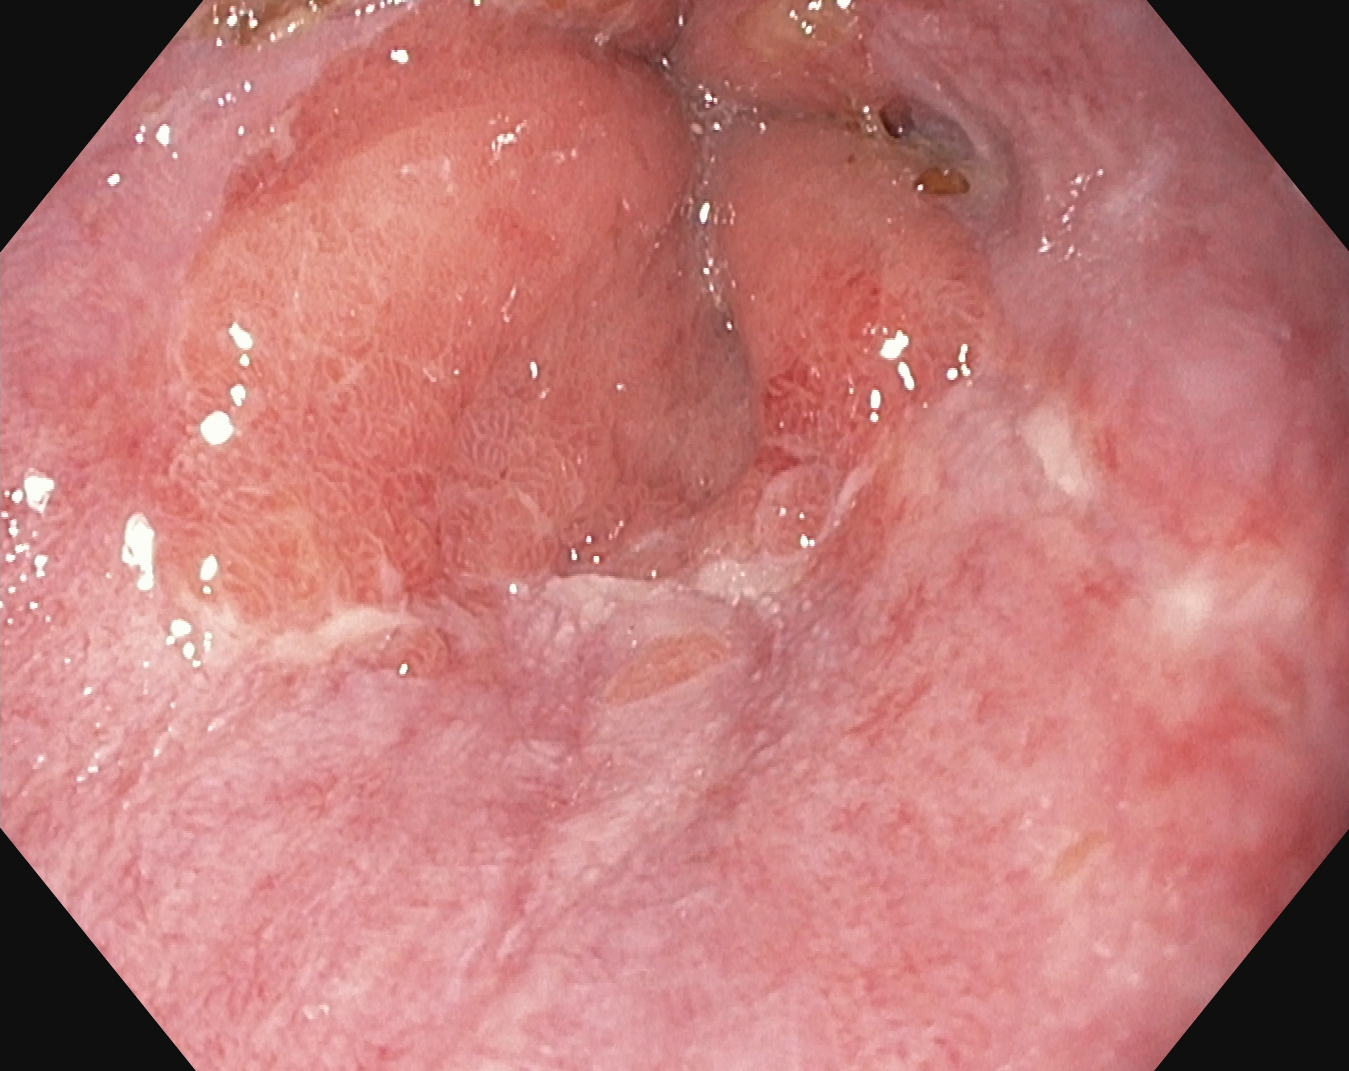This endoscopic image of the upper GI tract shows reflux esophagitis, Los Angeles grade A.